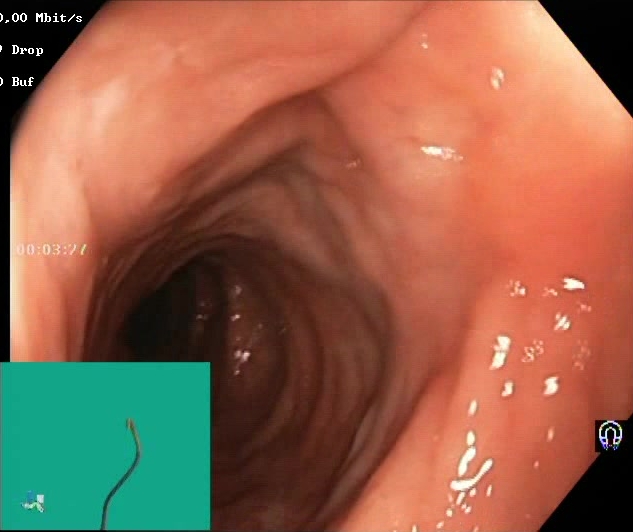BBPS score 2–3 (adequate preparation).